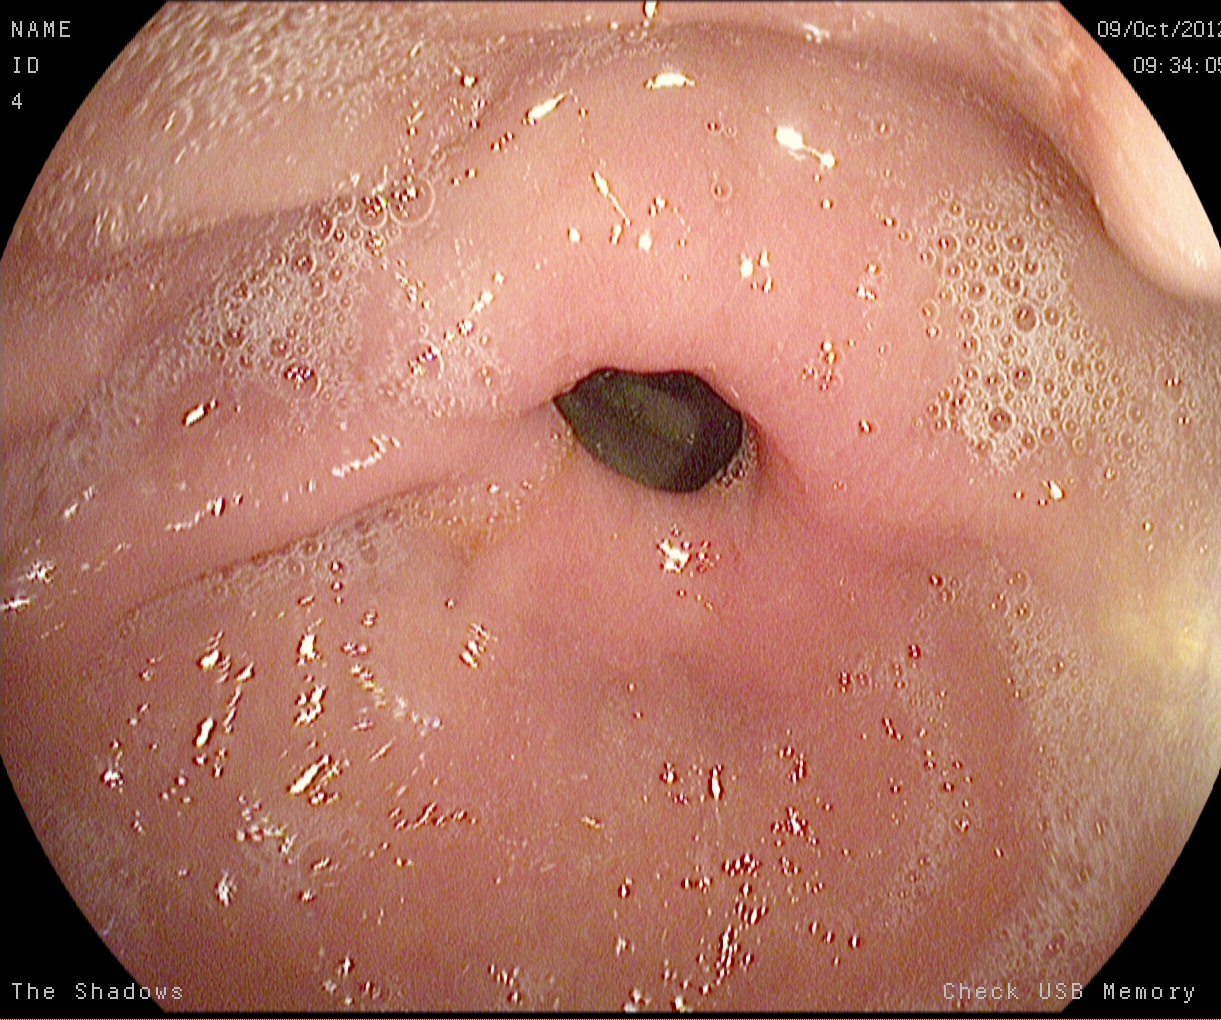PROCEDURE: EGD.
FINDINGS: Pylorus.